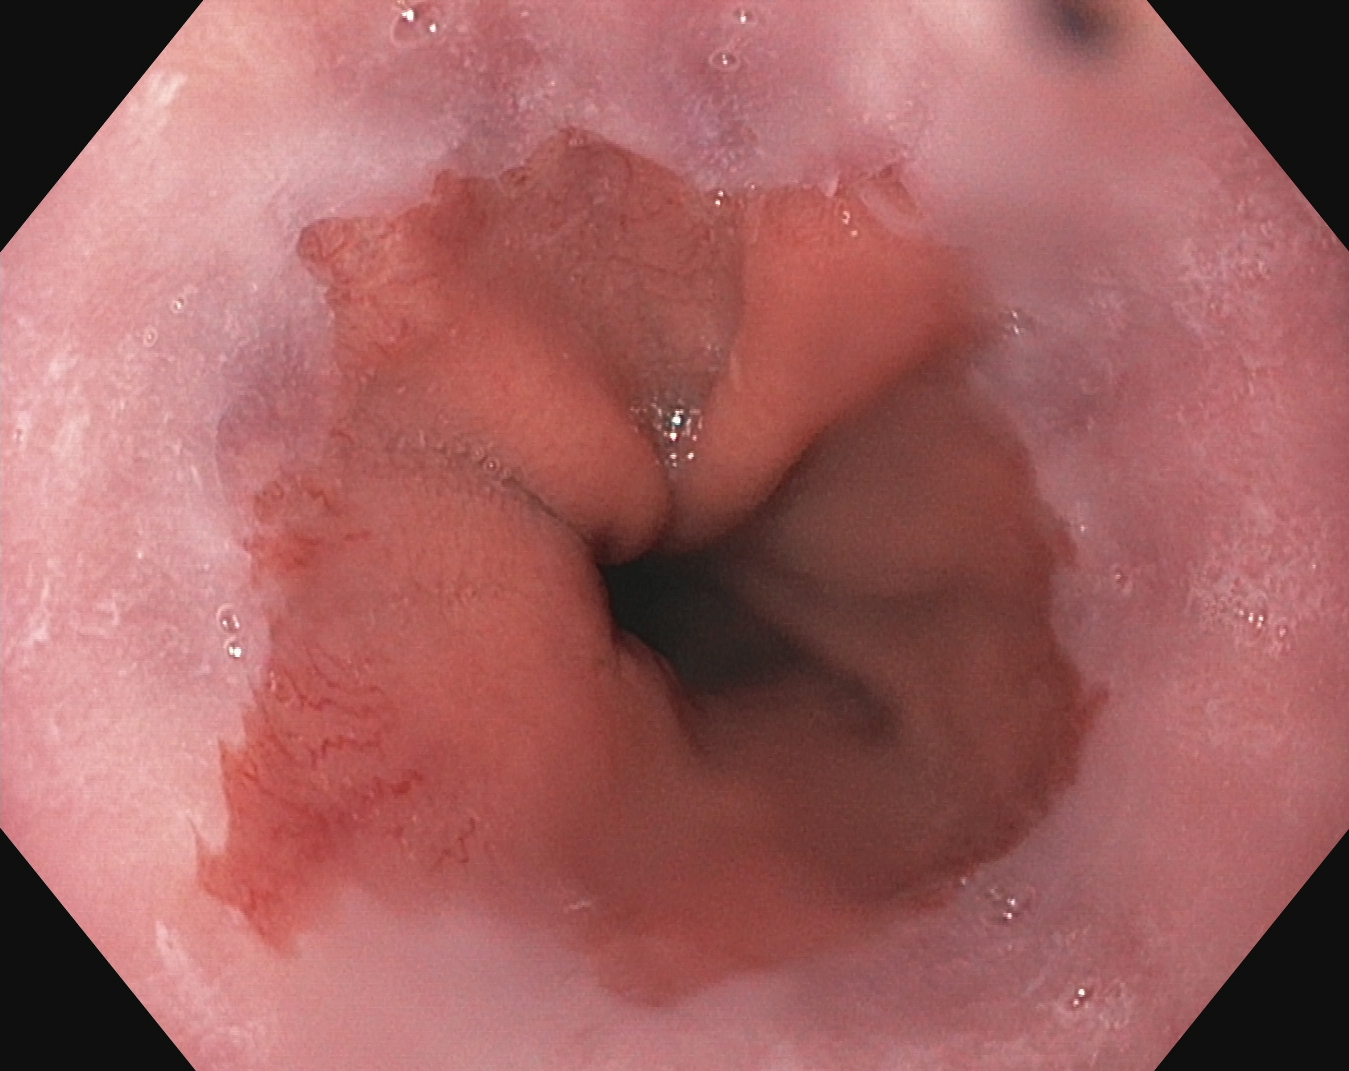Gastroscopy image of the upper GI tract showing reflux esophagitis, LA grade A.